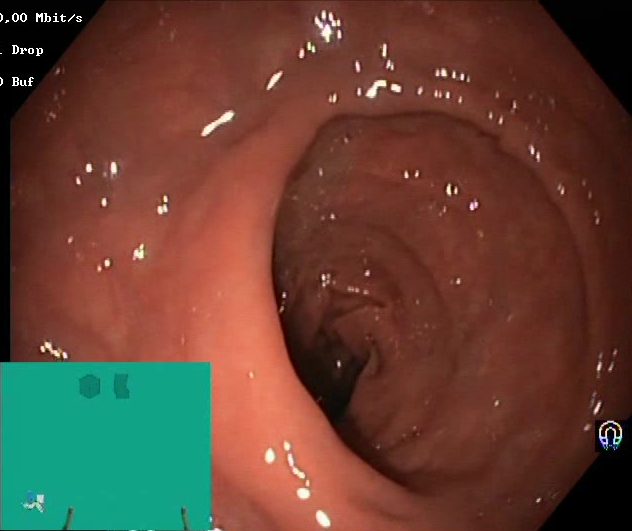{"modality": "lower gastrointestinal endoscopy", "category": "mucosal-view quality", "finding": "Boston Bowel Preparation Scale score 2\u20133 (adequate preparation)"}